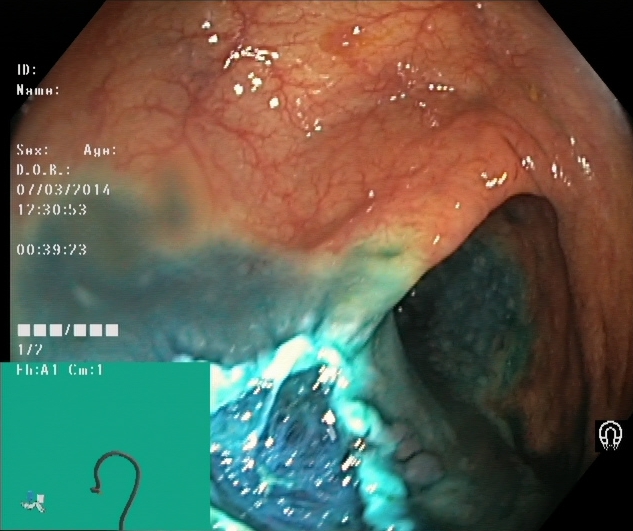GI endoscopy image showing dyed resection margins (post-polypectomy).